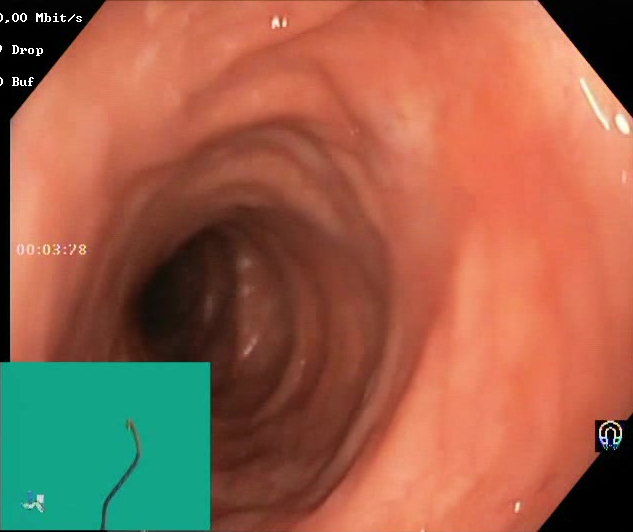Lower gastrointestinal endoscopy. Finding: BBPS score 2–3 (adequate preparation).